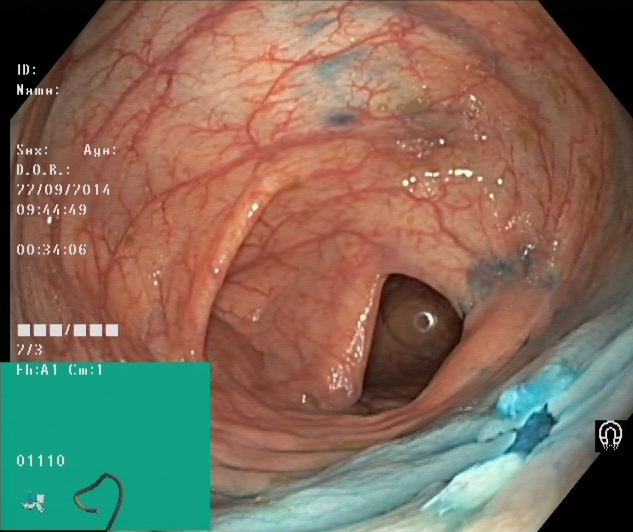PROCEDURE: Colonoscopy.
FINDINGS: Dyed resection margins (post-polypectomy).